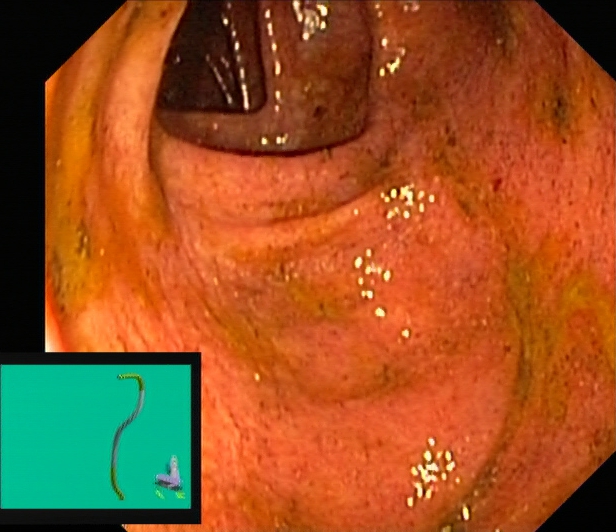Endoscopic frame of the lower GI tract showing ulcerative colitis, Mayo endoscopic subscore 1.